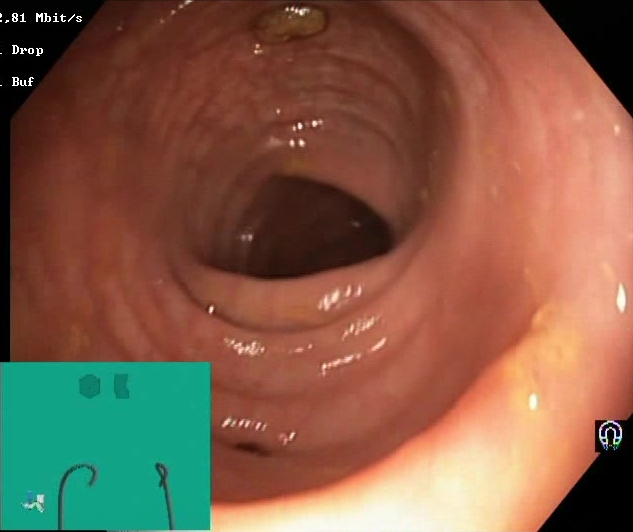{"modality": "lower-GI endoscopy", "category": "mucosal-view quality", "finding": "Boston Bowel Preparation Scale score 2\u20133 (adequate preparation)"}